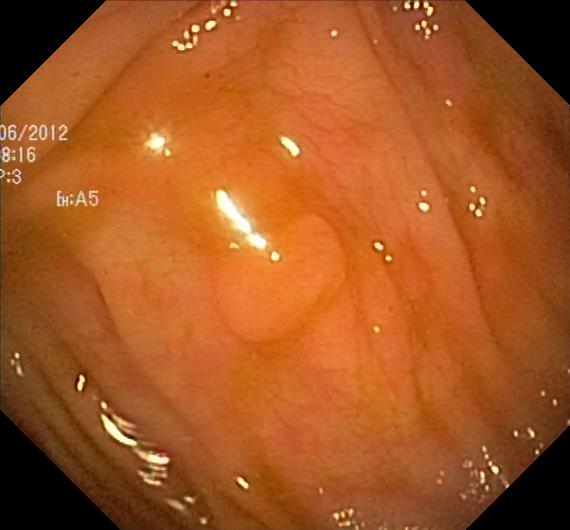{"modality": "lower-GI endoscopy", "category": "pathological finding", "finding": "colorectal polyp(s)"}